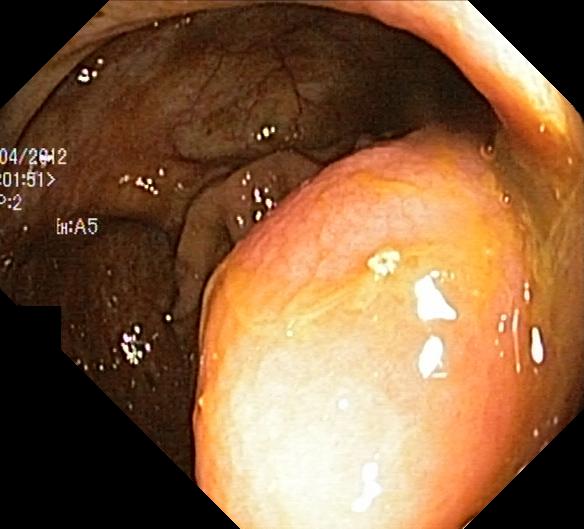Lower-GI endoscopy — colorectal polyp(s).